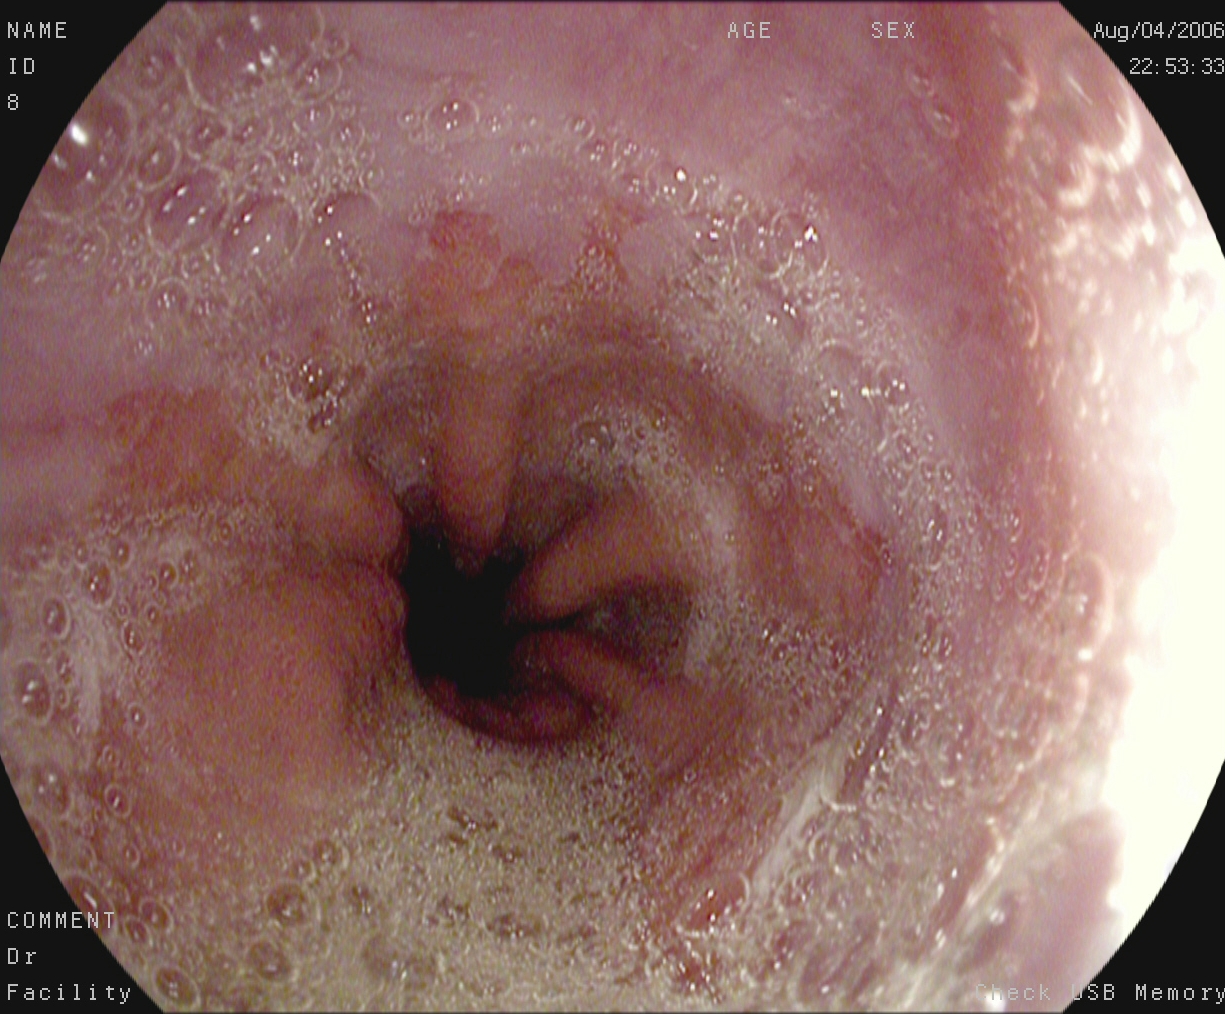PROCEDURE: EGD.
CATEGORY: Anatomical landmark.
FINDINGS: Z-line (gastroesophageal junction).